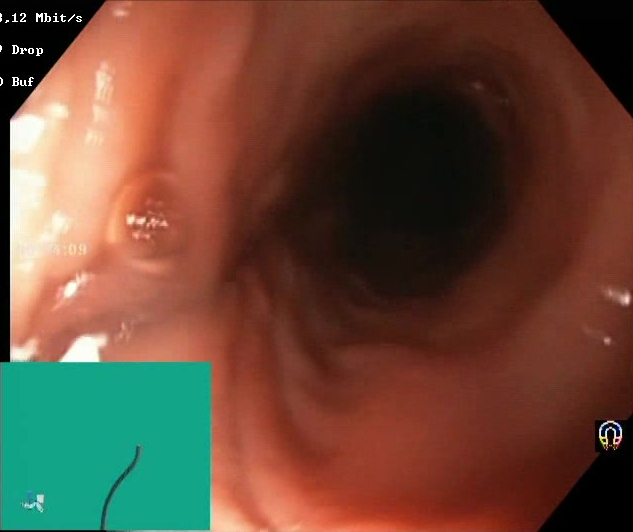Lower gastrointestinal endoscopy. Tract: lower GI tract. Mucosal-view quality. Finding: BBPS score 2–3 (adequate preparation).